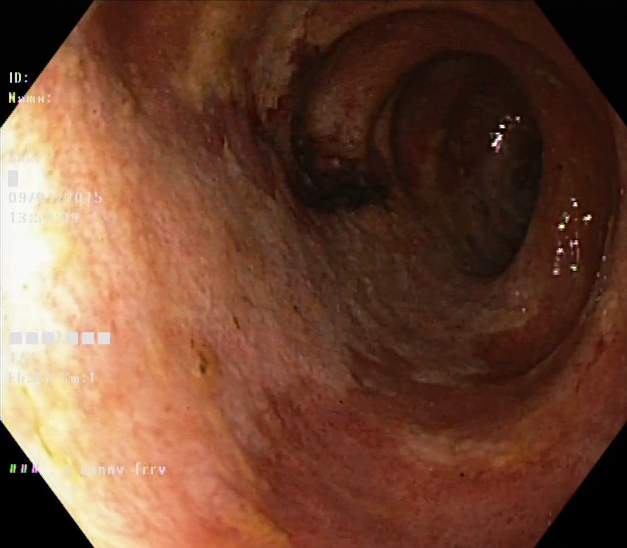Lower gastrointestinal endoscopy. Finding: UC, Mayo endoscopic subscore 2.